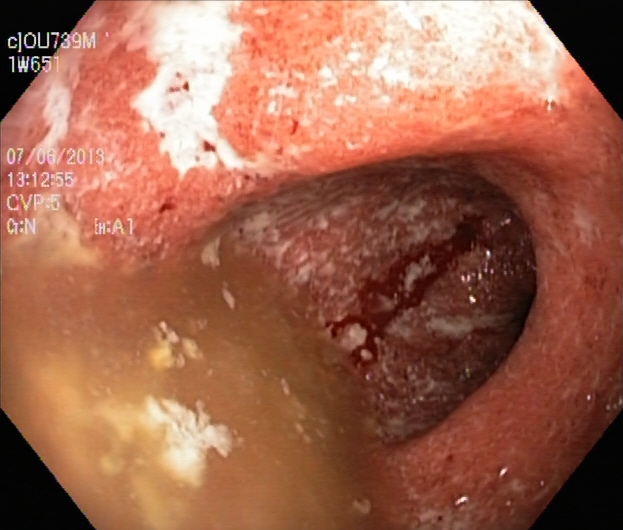modality: colonoscopy; category: pathological finding; finding: UC, Mayo endoscopic subscore 3